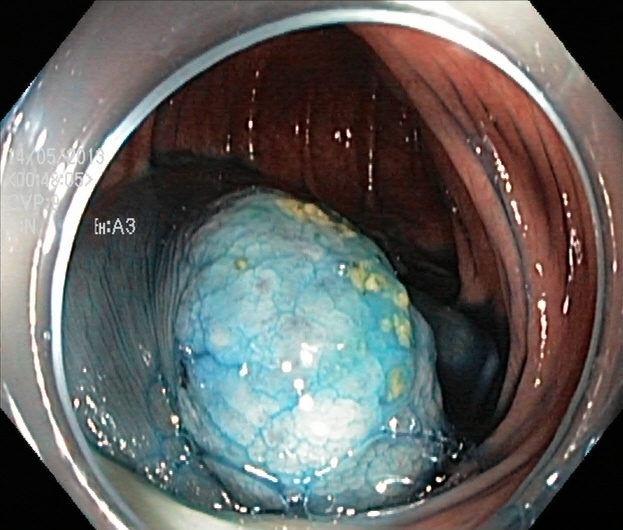modality: lower-GI endoscopy | finding: dyed and lifted polyp (pre-resection)